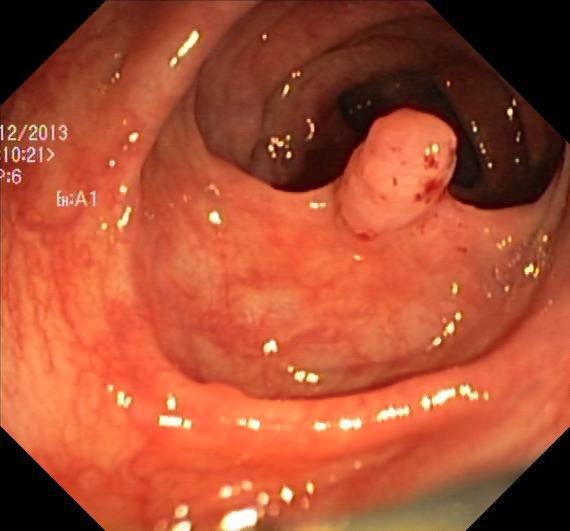{"modality": "colonoscopy", "tract": "lower GI tract", "finding": "colorectal polyp(s)"}